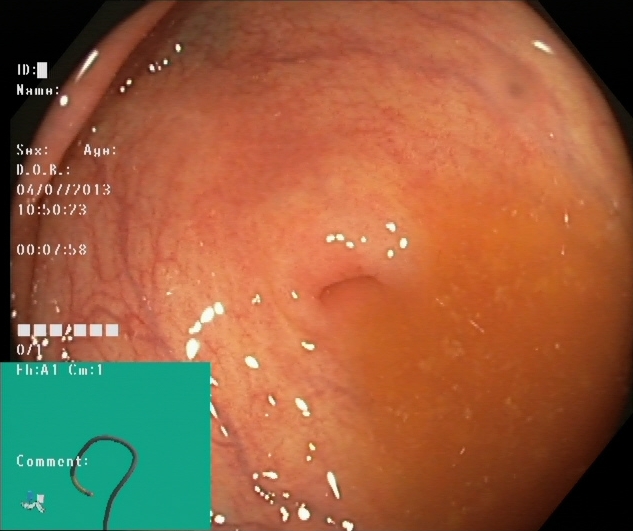{"modality": "colonoscopy", "tract": "lower GI tract", "category": "anatomical landmark", "finding": "cecum"}